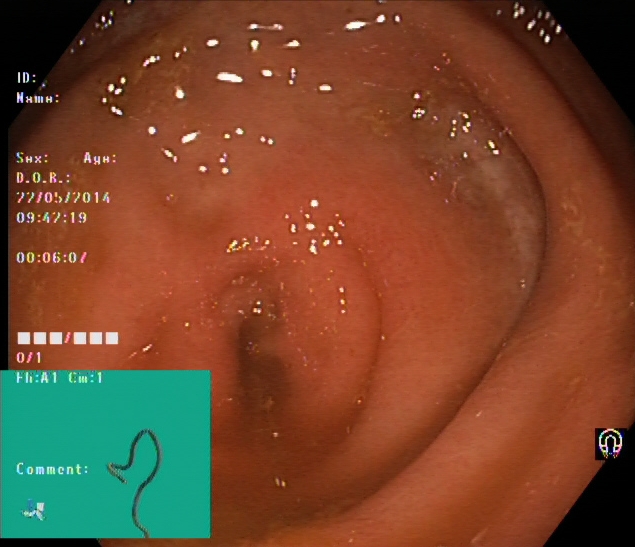PROCEDURE: Colonoscopy.
CATEGORY: Anatomical landmark.
FINDINGS: Cecum.